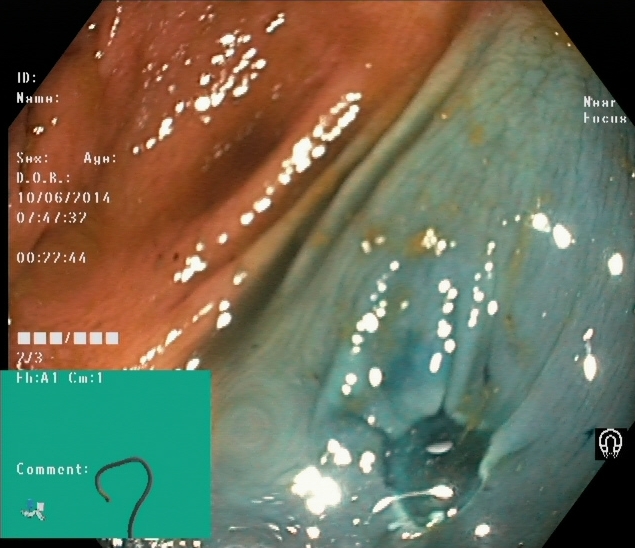This endoscopic image of the lower GI tract shows dyed resection margins (post-polypectomy).